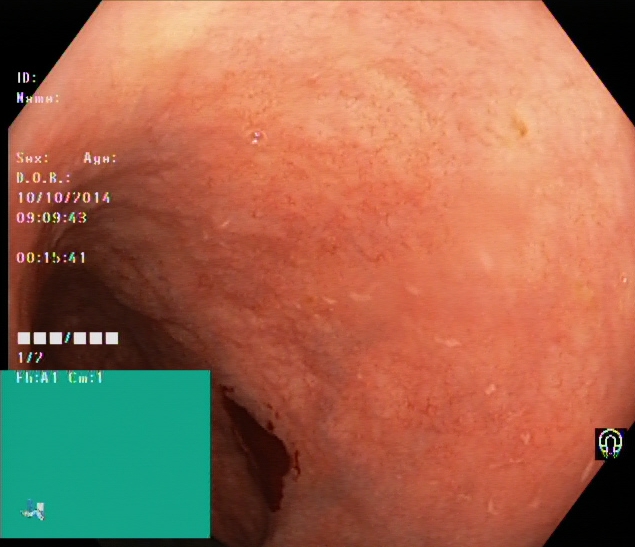Colonoscopy. Tract: lower GI tract. Finding: ulcerative colitis, Mayo endoscopic subscore 2.